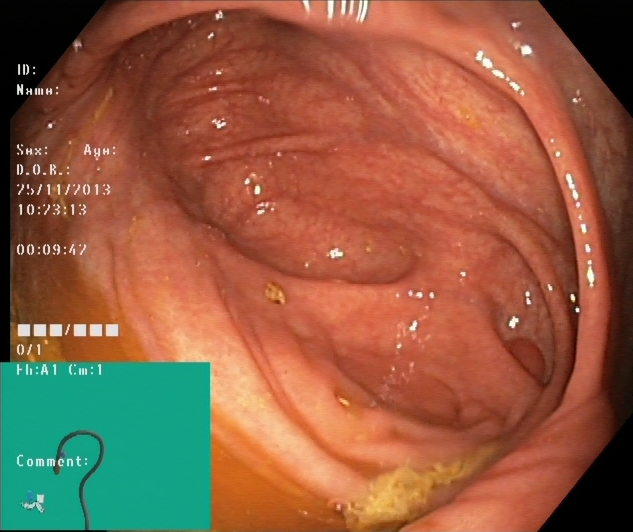PROCEDURE: Lower gastrointestinal endoscopy.
FINDINGS: Cecum.